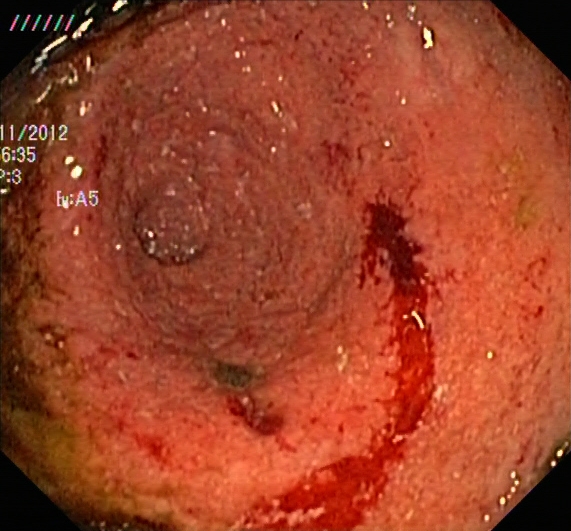PROCEDURE: Colonoscopy.
CATEGORY: Pathological finding.
FINDINGS: Ulcerative colitis, Mayo endoscopic subscore 2.